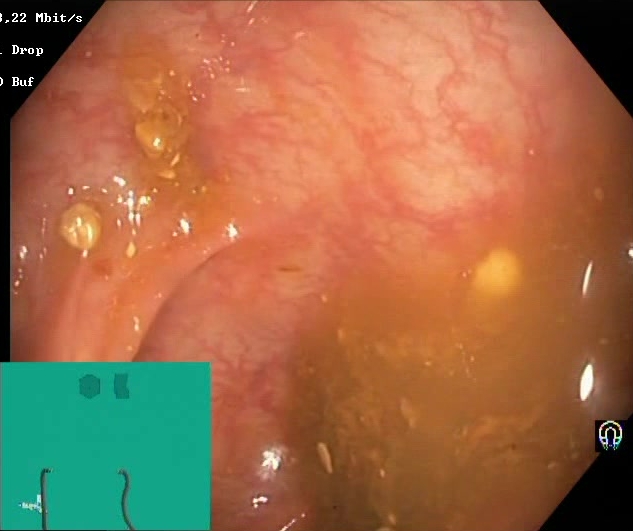Lower gastrointestinal endoscopy. Finding: Boston Bowel Preparation Scale score 0–1 (inadequate preparation).